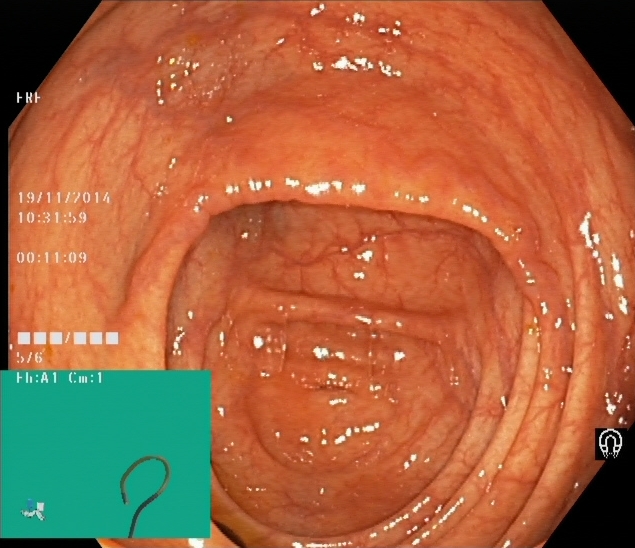Cecum.